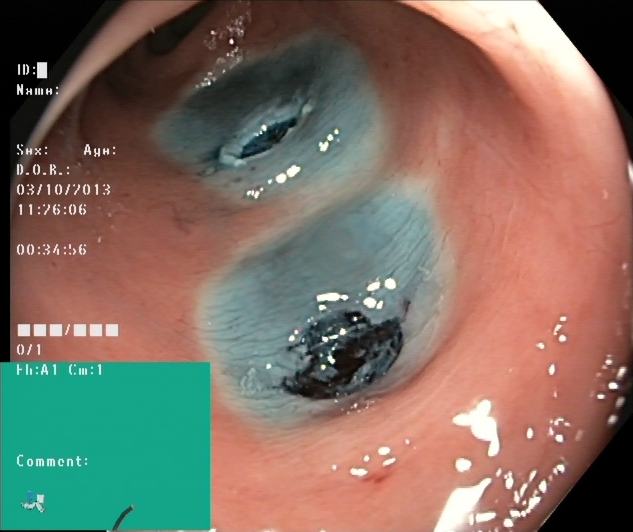Colonoscopy — dyed resection margins (post-polypectomy).